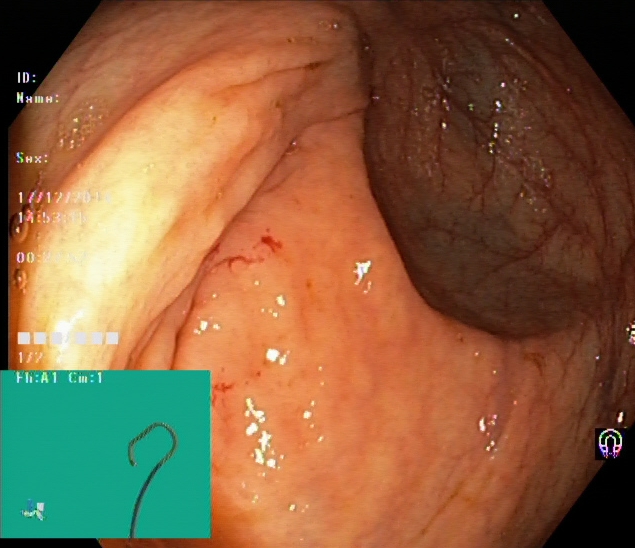Cecum.